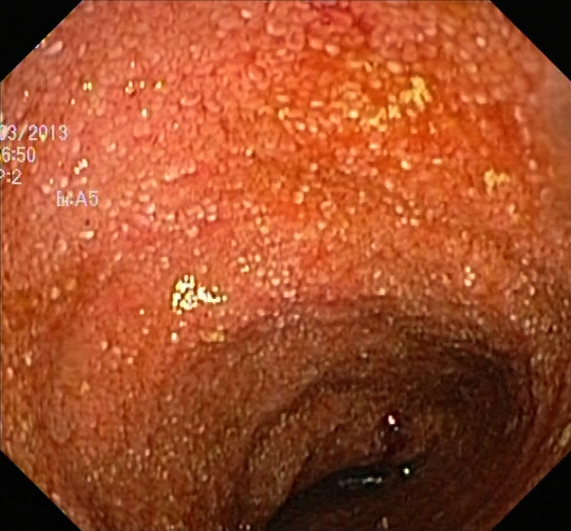modality: lower gastrointestinal endoscopy | tract: lower GI tract | finding: ulcerative colitis, Mayo endoscopic subscore 2